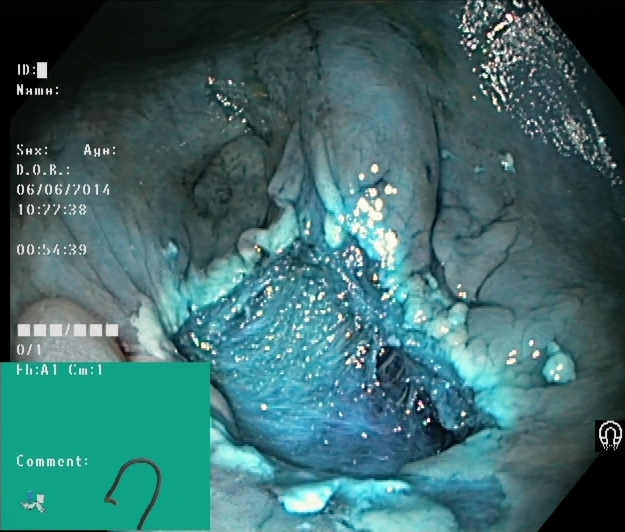{"modality": "lower-GI endoscopy", "finding": "dyed resection margins (post-polypectomy)"}